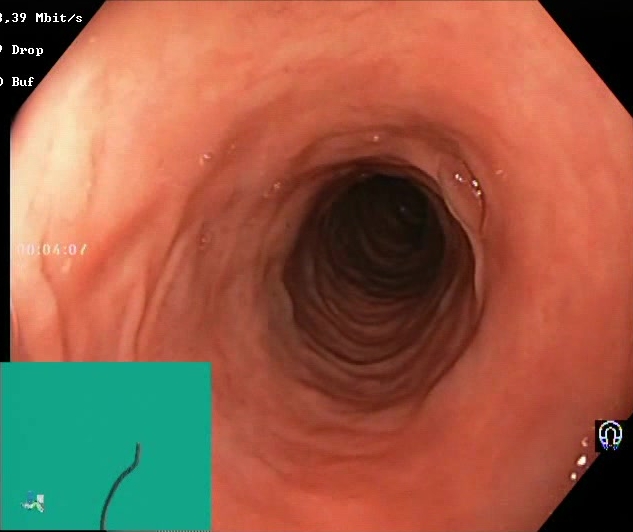{"modality": "colonoscopy", "tract": "lower GI tract", "finding": "Boston Bowel Preparation Scale score 2\u20133 (adequate preparation)"}